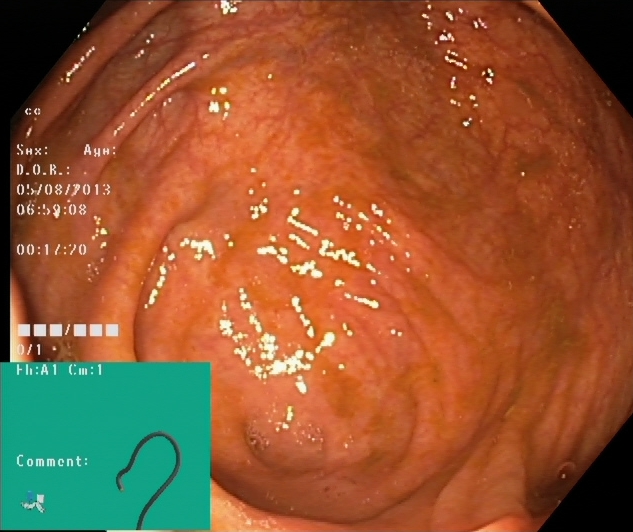This endoscopic image shows cecum.